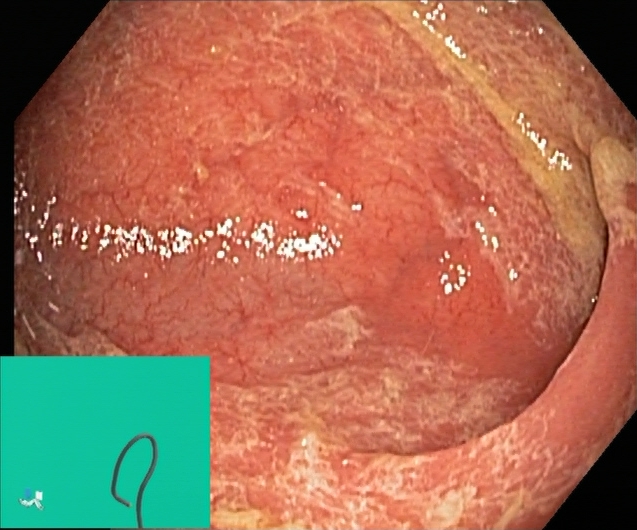Lower gastrointestinal endoscopy image of the lower GI tract showing ulcerative colitis, Mayo endoscopic subscore 1.